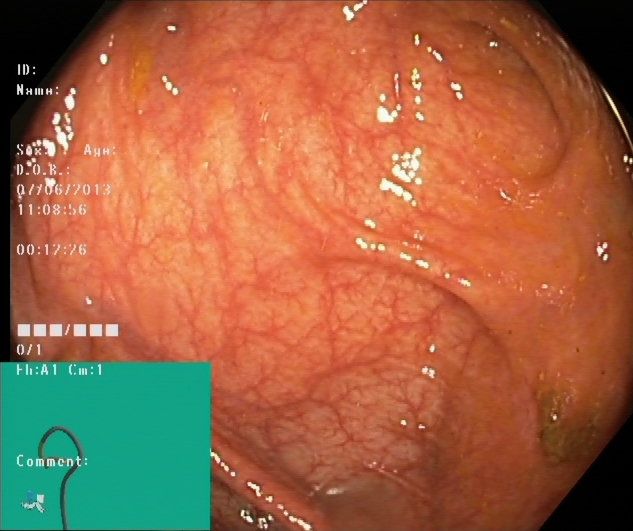Cecum.